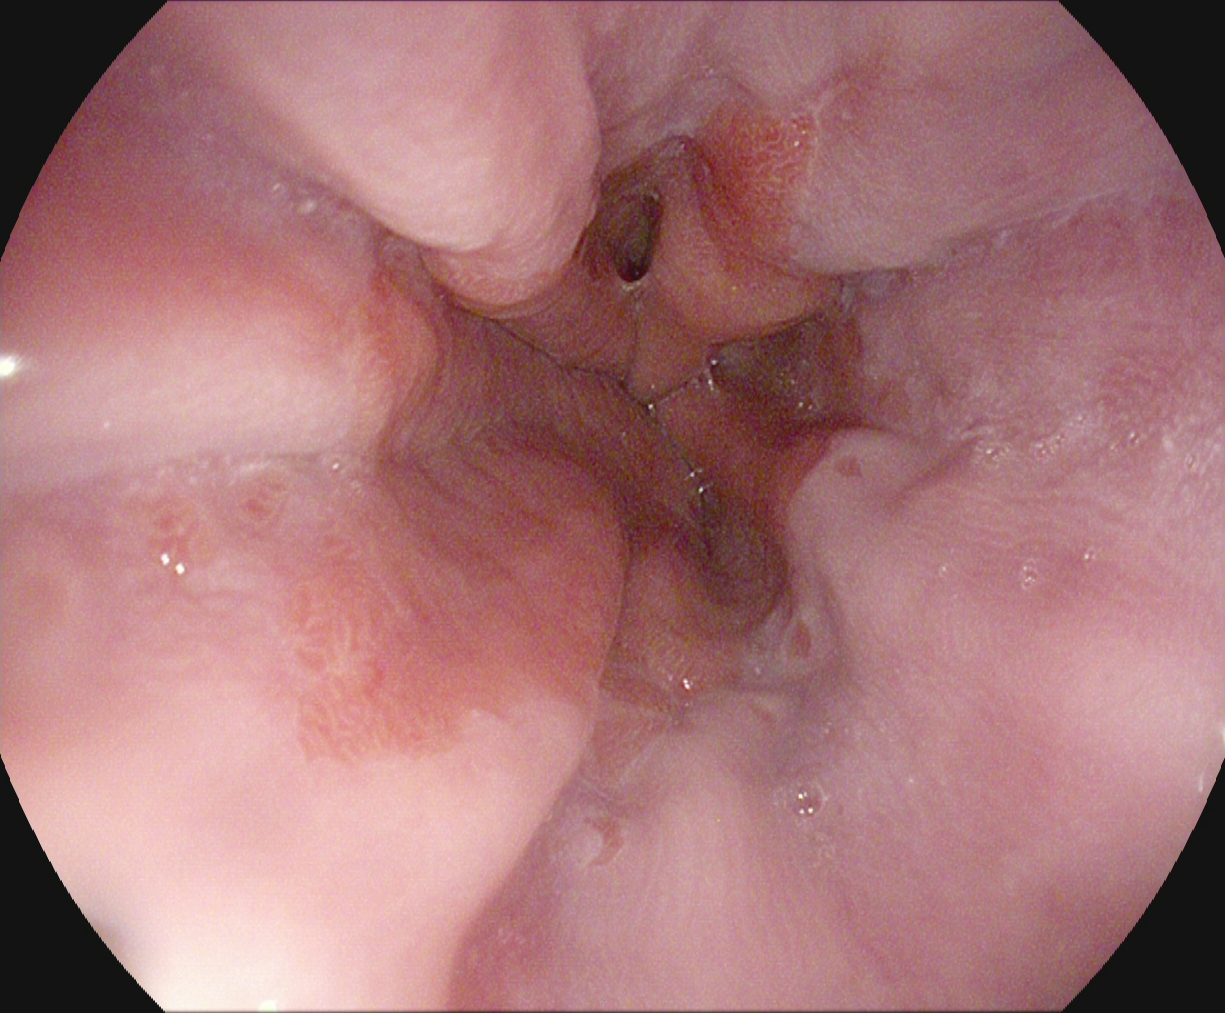{"modality": "gastroscopy", "tract": "upper GI tract", "finding": "reflux esophagitis, Los Angeles grade A"}